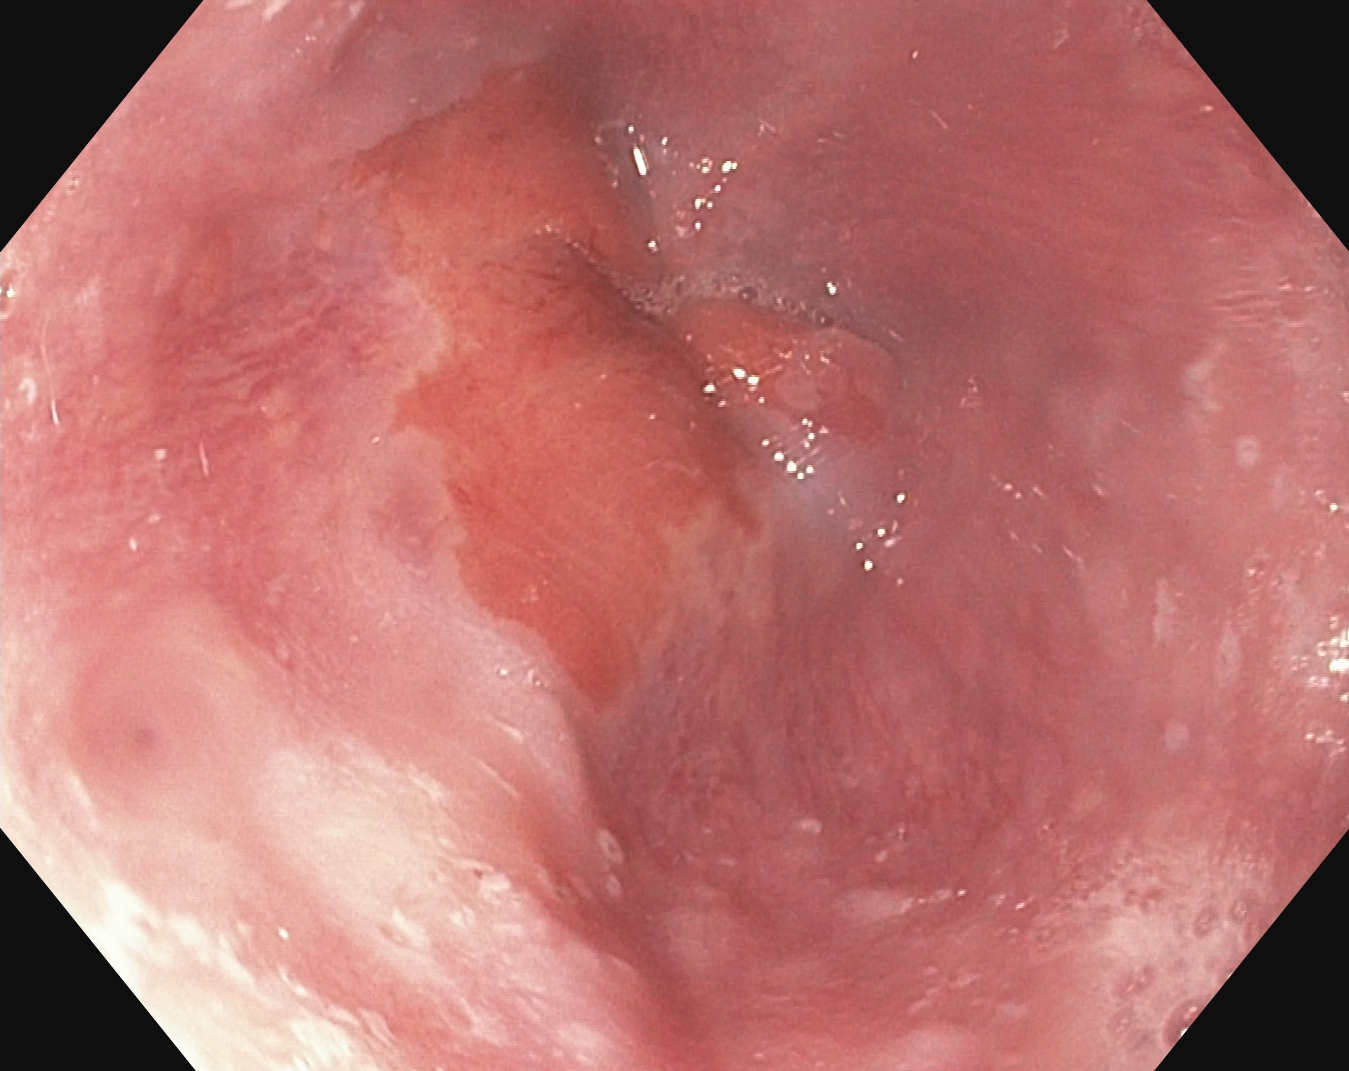Z-line (gastroesophageal junction).